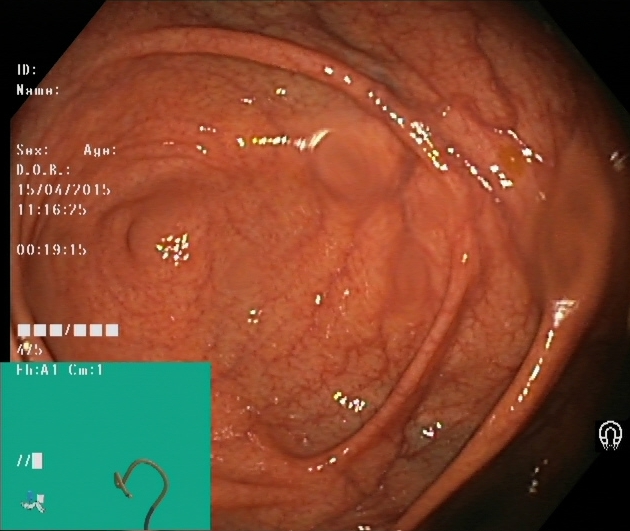Lower gastrointestinal endoscopy image of the lower GI tract showing cecum.